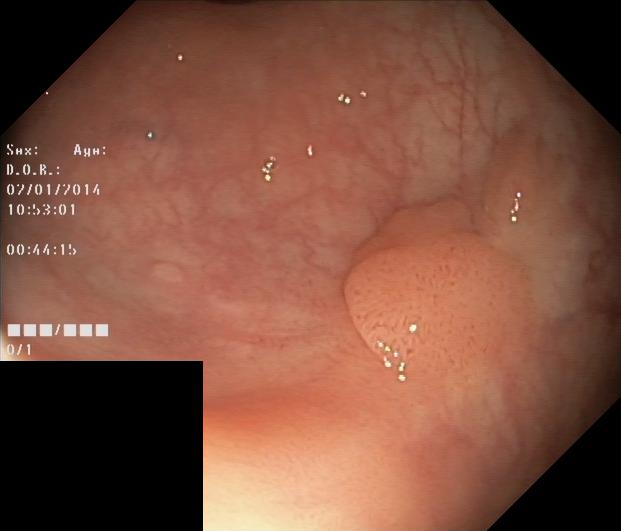Endoscopic image of the lower GI tract showing colorectal polyp(s).